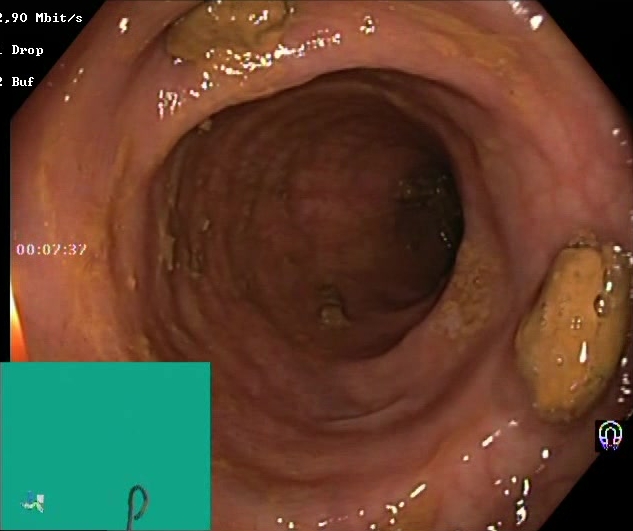{"modality": "lower-GI endoscopy", "tract": "lower GI tract", "finding": "impacted stool"}